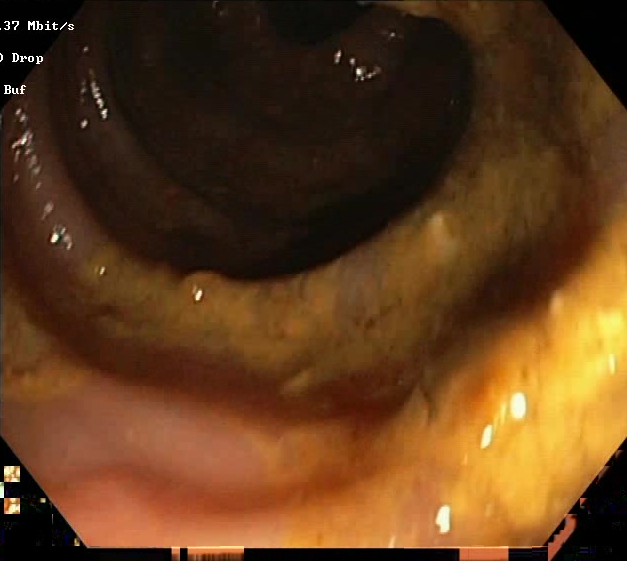Lower-GI endoscopy. Finding: Boston Bowel Preparation Scale score 0–1 (inadequate preparation).